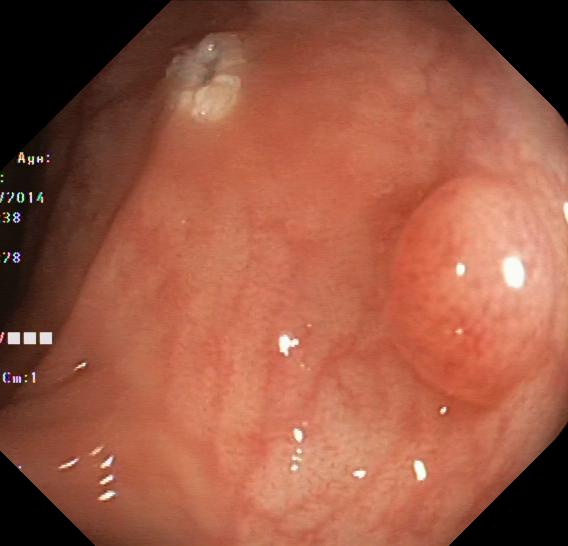Colorectal polyp(s).